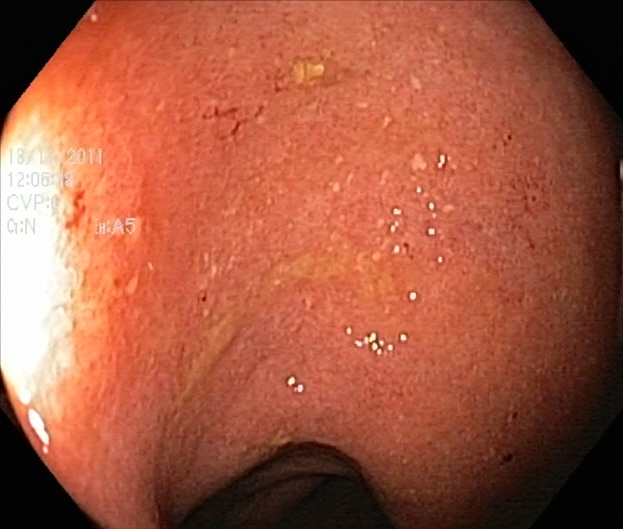Endoscopy image showing ulcerative colitis, Mayo endoscopic subscore 2.